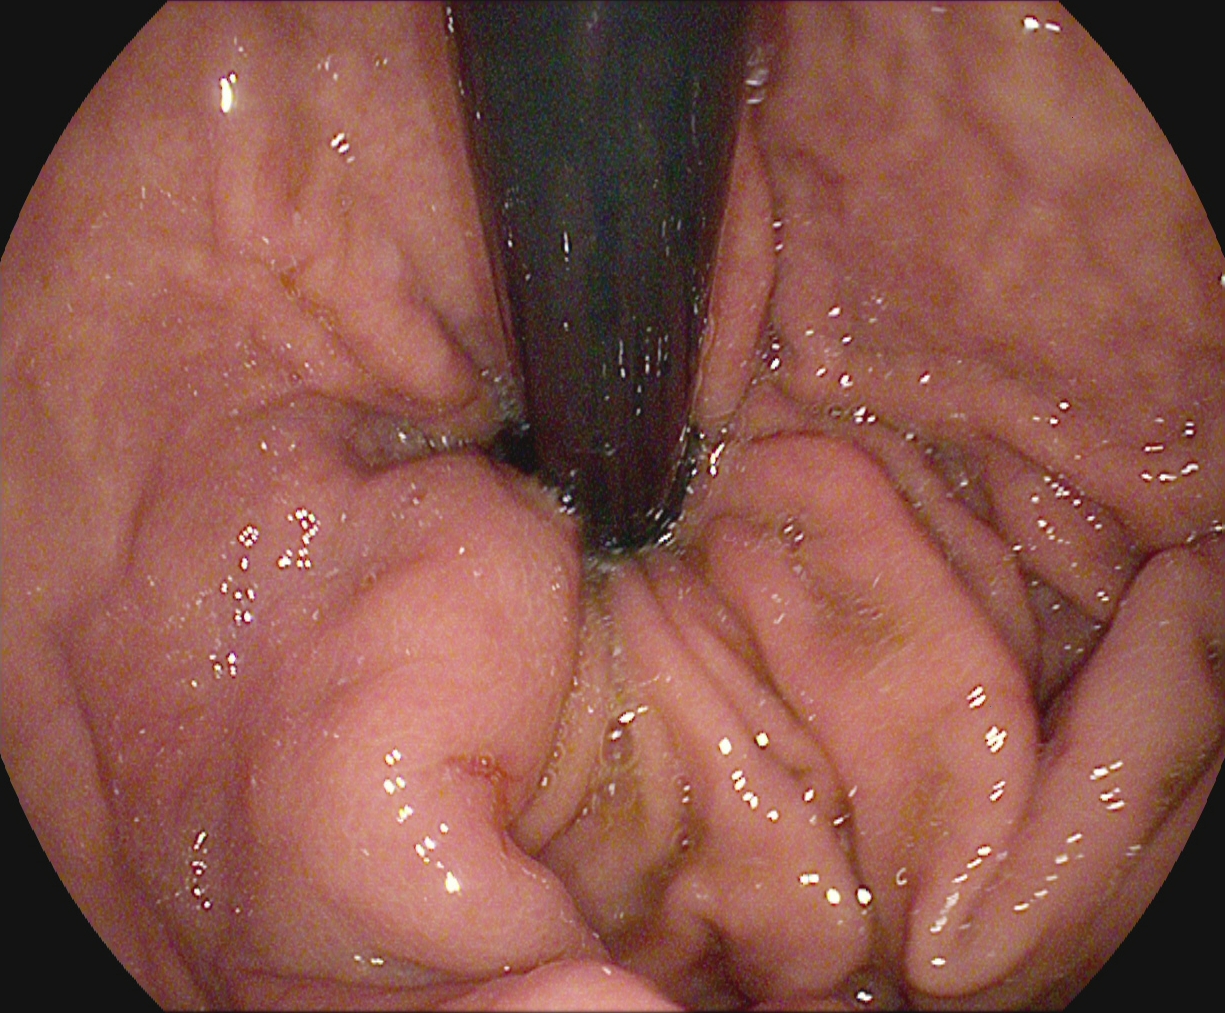This endoscopic image shows stomach in retroflexion.